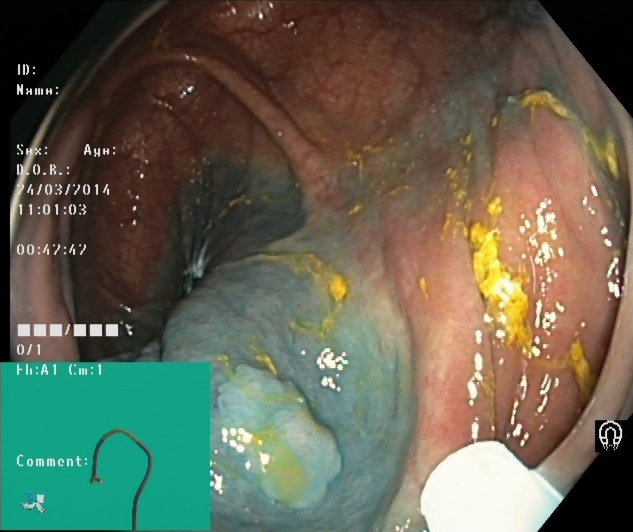modality: lower-GI endoscopy | category: therapeutic intervention | finding: dyed and lifted polyp (pre-resection)